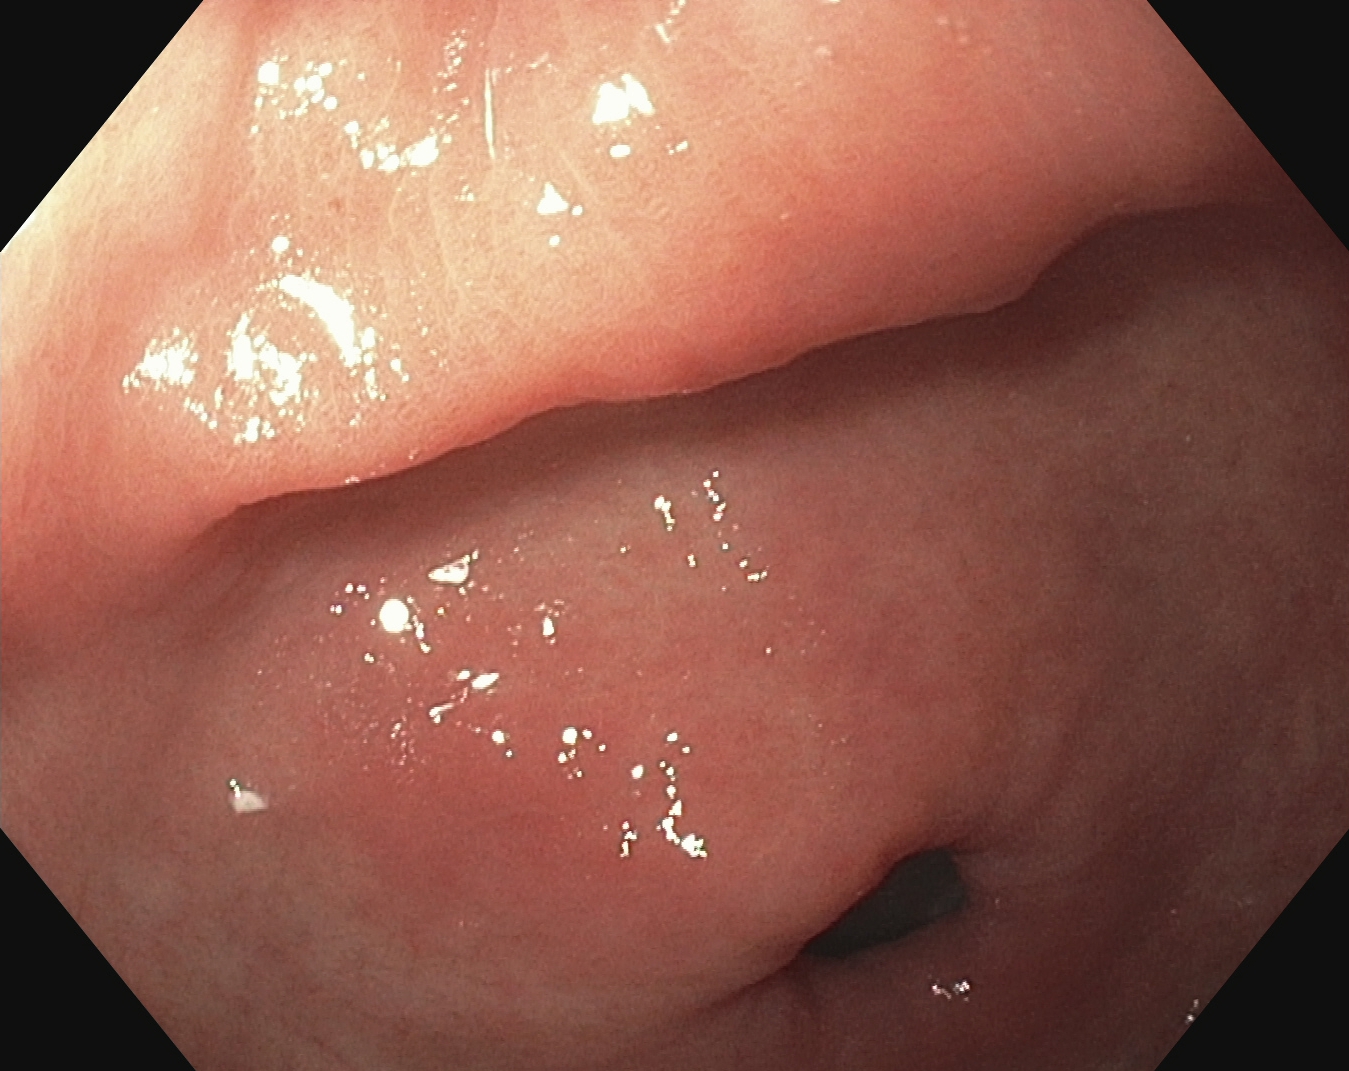{"modality": "EGD", "tract": "upper GI tract", "category": "anatomical landmark", "finding": "pylorus"}